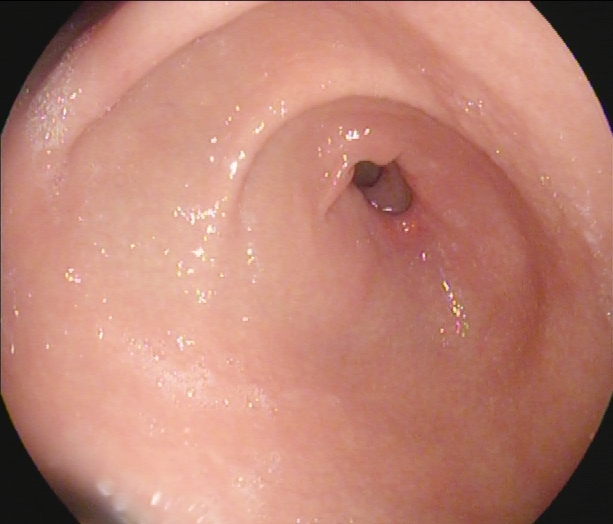Gastroscopy. Tract: upper GI tract. Finding: pylorus.